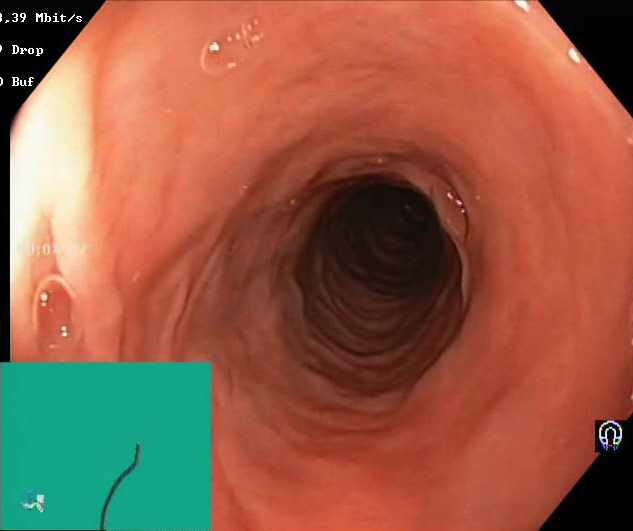Lower gastrointestinal endoscopy — Boston Bowel Preparation Scale score 2–3 (adequate preparation).